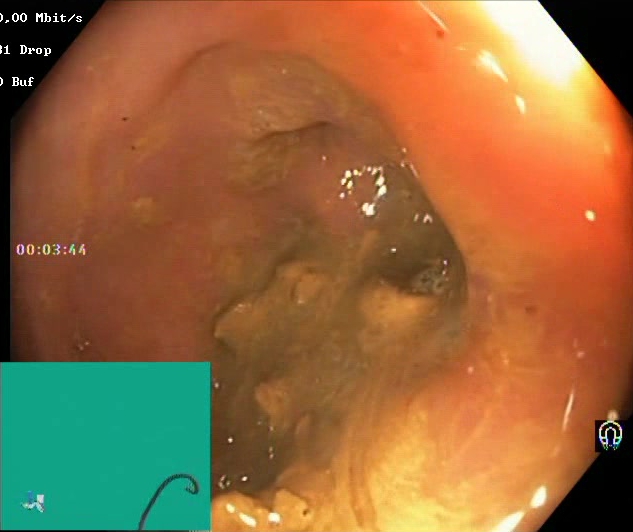Lower-GI endoscopy. Tract: lower GI tract. Finding: BBPS score 0–1 (inadequate preparation).